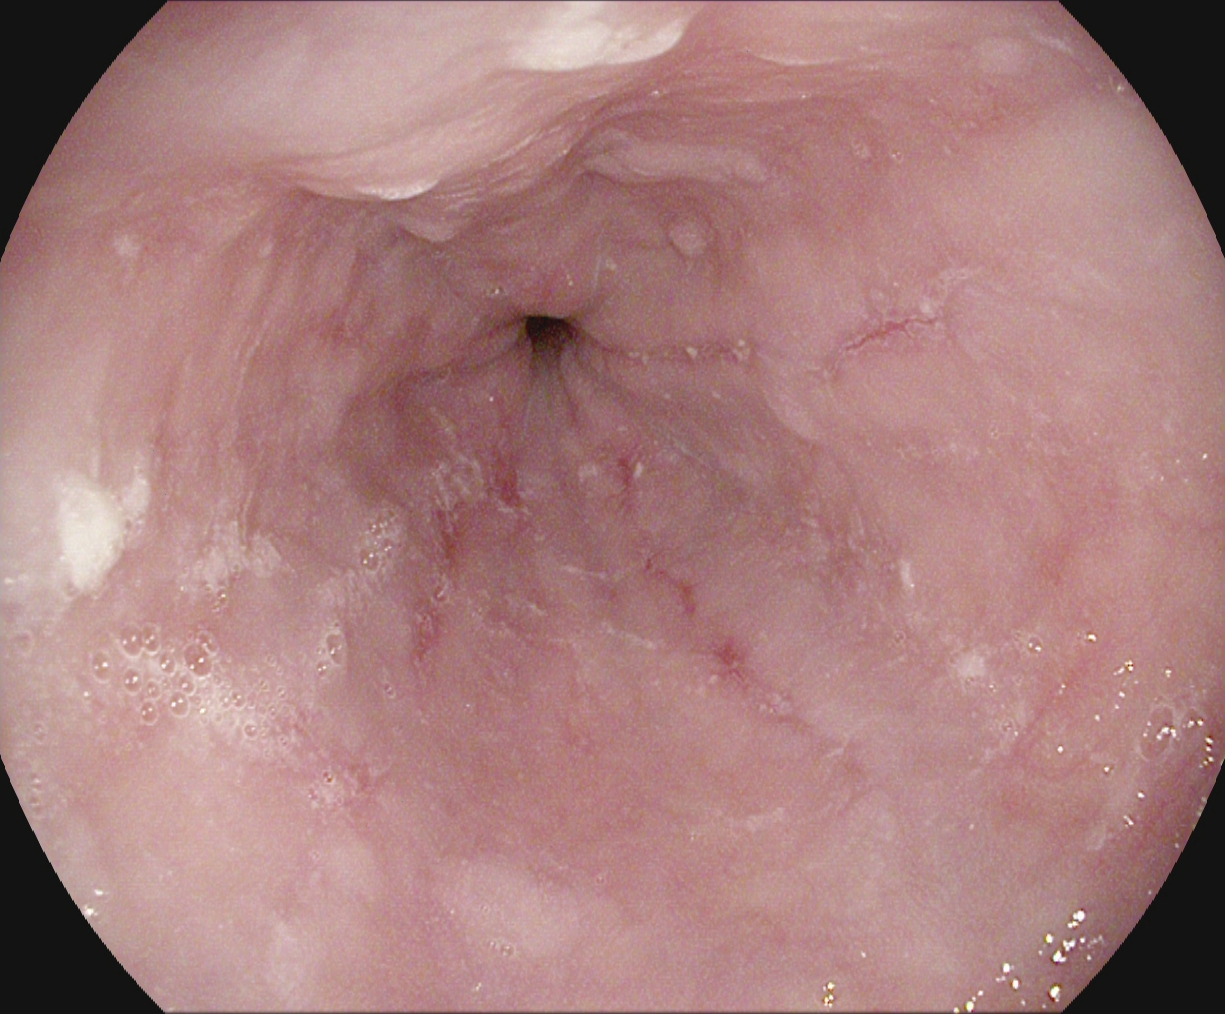EGD. Tract: upper GI tract. Finding: reflux esophagitis, Los Angeles grade B–D.